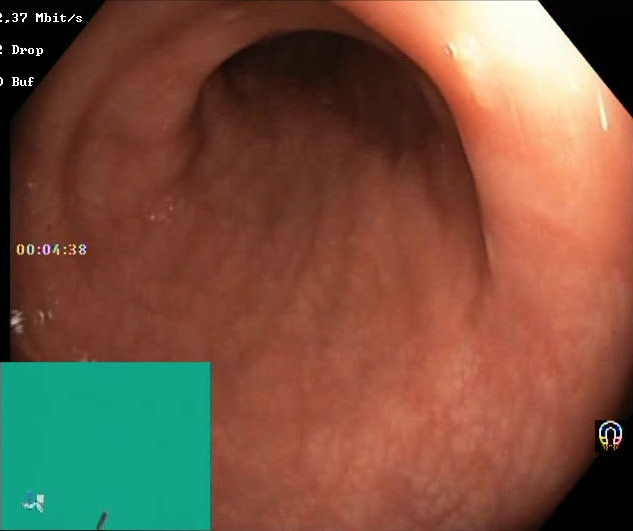Lower-GI endoscopy — BBPS score 2–3 (adequate preparation).